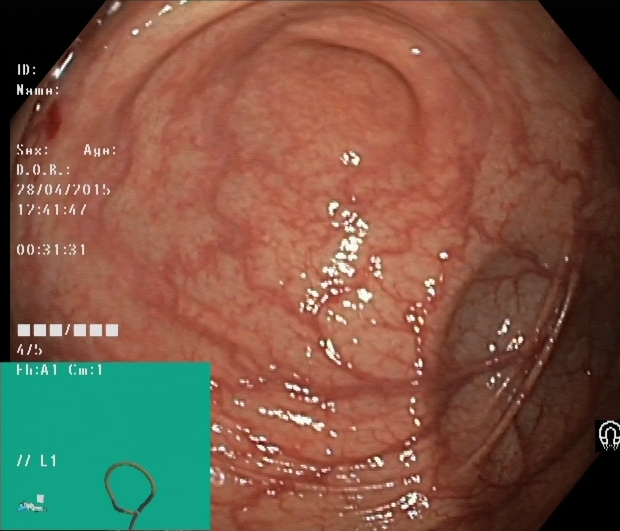Cecum.